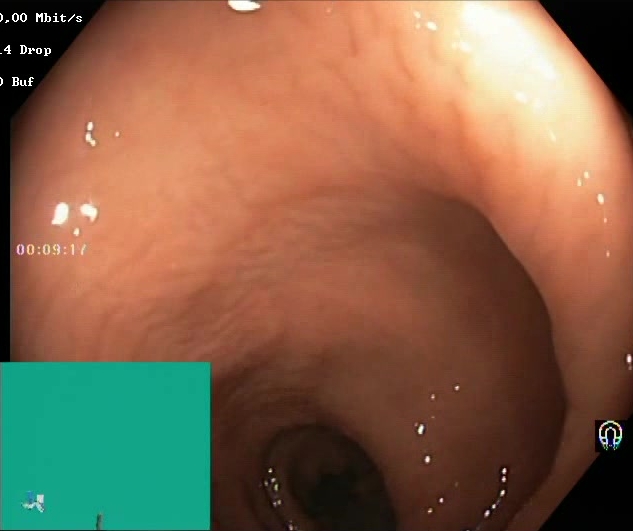This endoscopic image of the lower GI tract shows BBPS score 2–3 (adequate preparation).